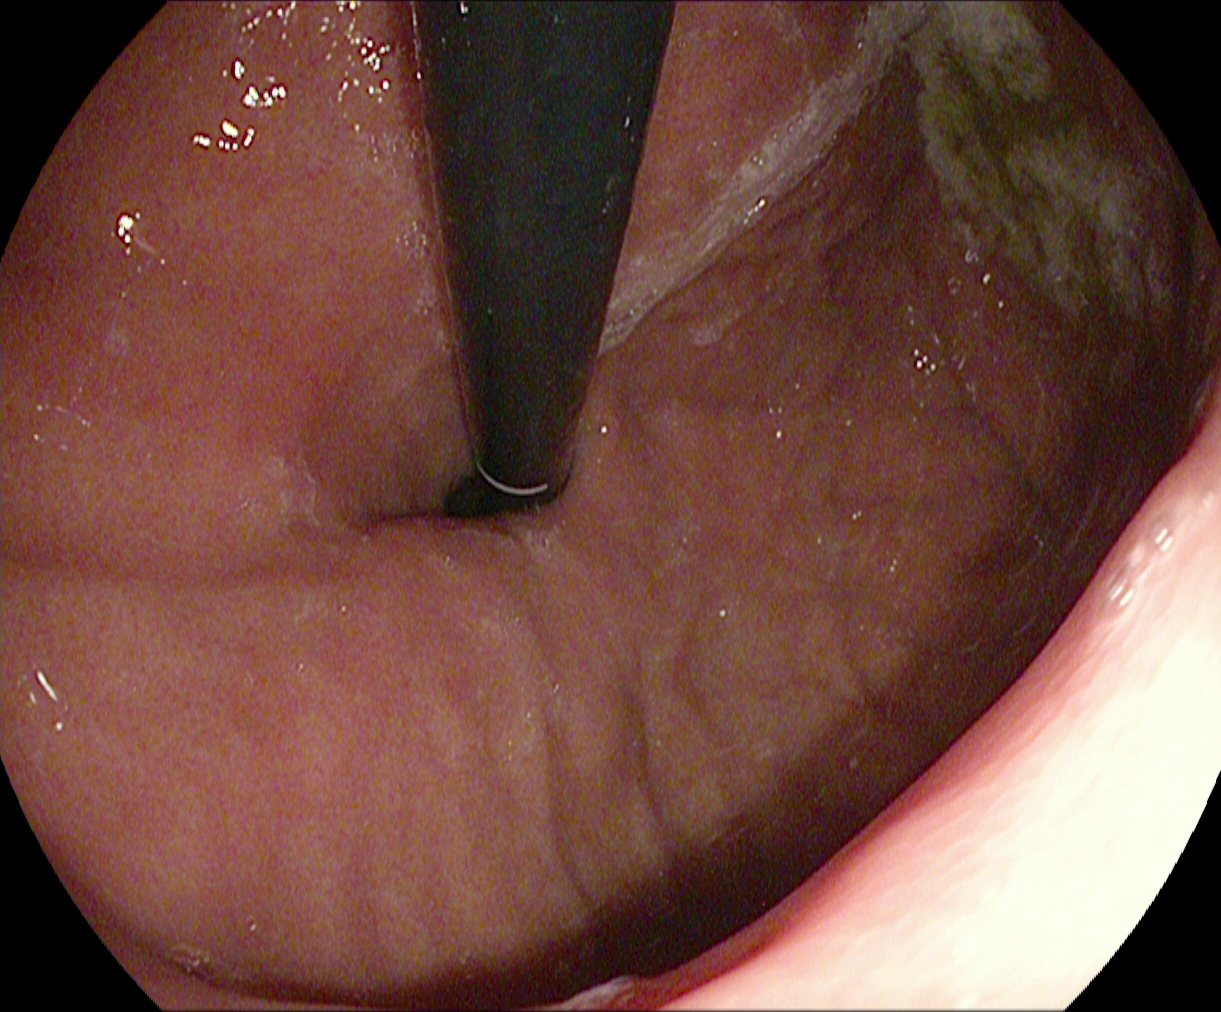This endoscopic image of the upper GI tract shows stomach in retroflexion.